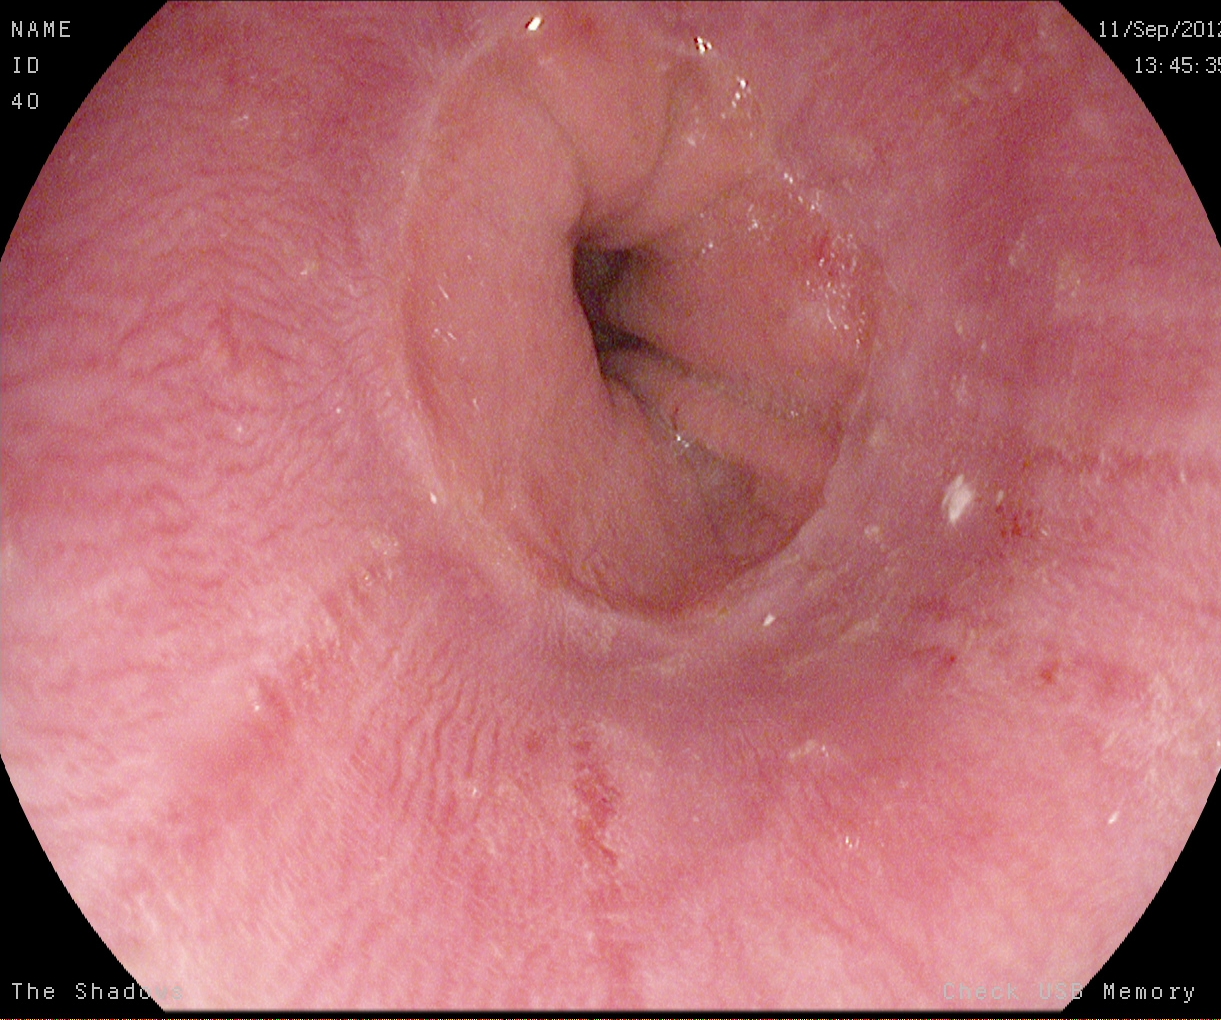Z-line (gastroesophageal junction).